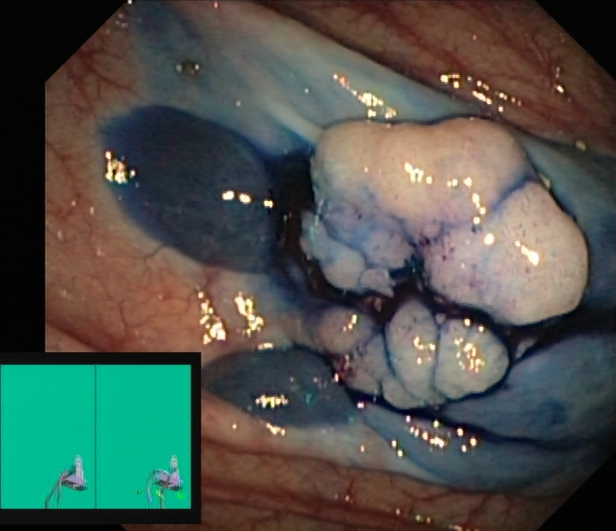Endoscopic image showing dyed and lifted polyp (pre-resection).